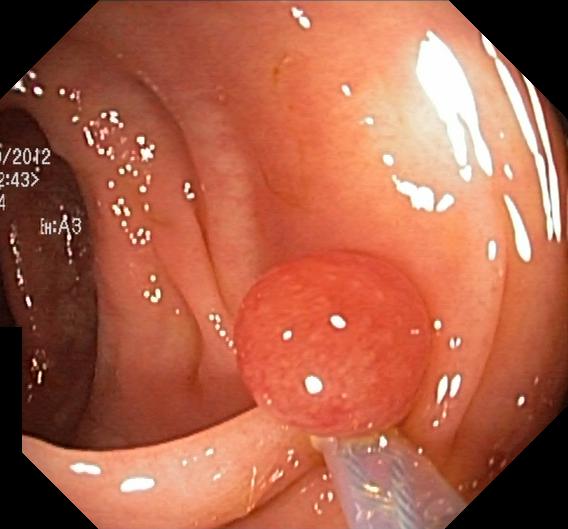{"modality": "lower-GI endoscopy", "category": "pathological finding", "finding": "colorectal polyp(s)"}